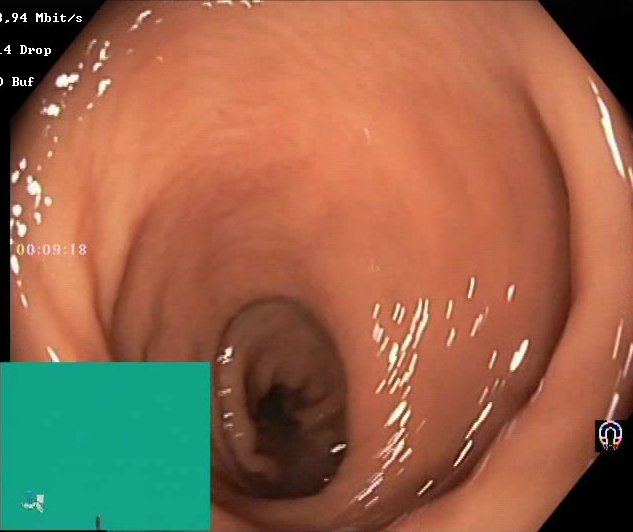{"modality": "lower-GI endoscopy", "finding": "BBPS score 2\u20133 (adequate preparation)"}